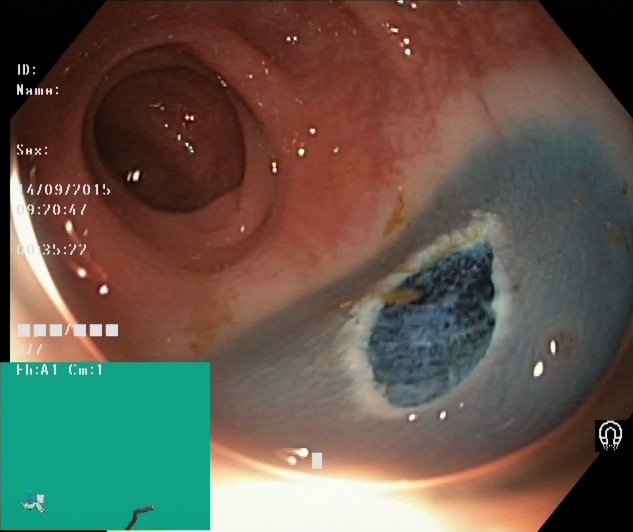Lower-GI endoscopy image of the lower GI tract showing dyed resection margins (post-polypectomy).